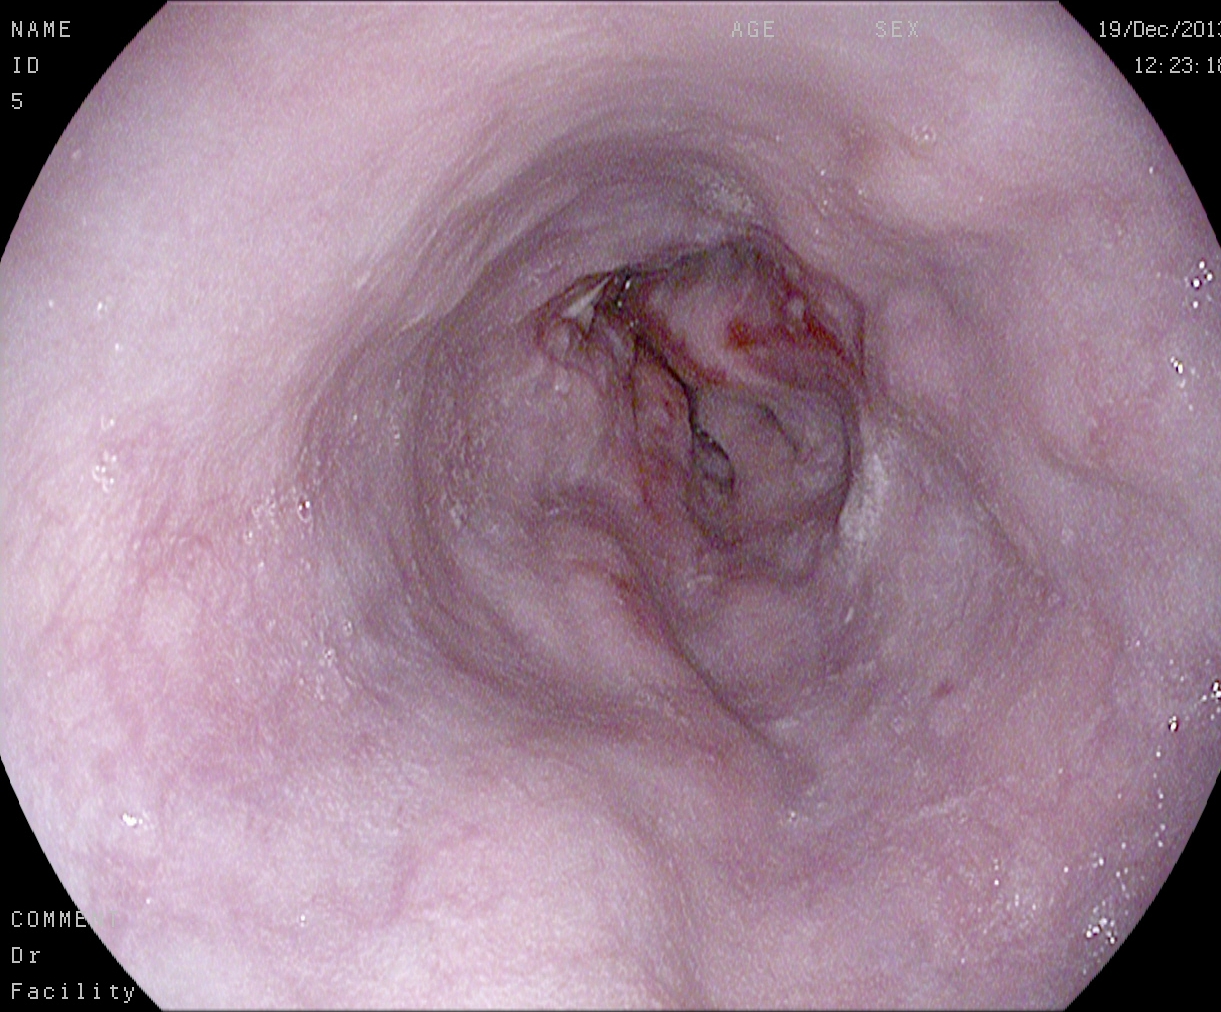Esophagogastroduodenoscopy. Tract: upper GI tract. Pathological finding. Finding: reflux esophagitis, Los Angeles grade A.